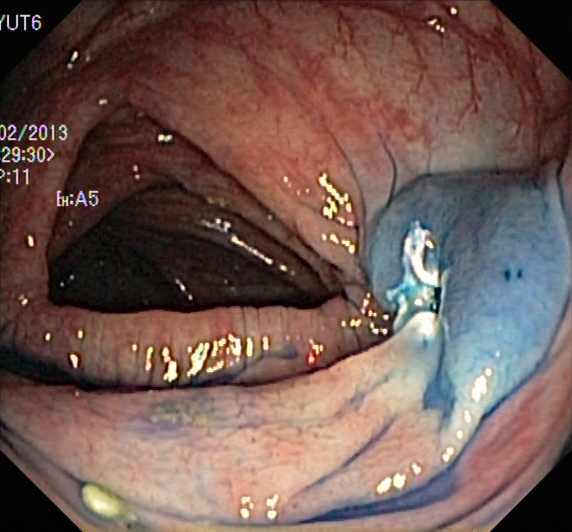Colonoscopy — dyed resection margins (post-polypectomy).